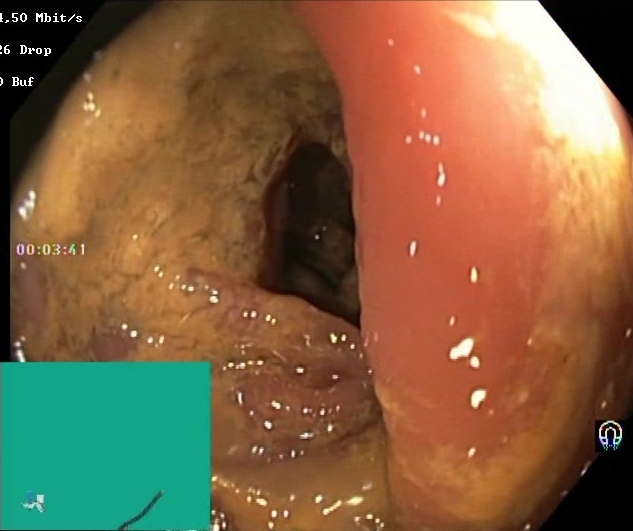BBPS score 0–1 (inadequate preparation).